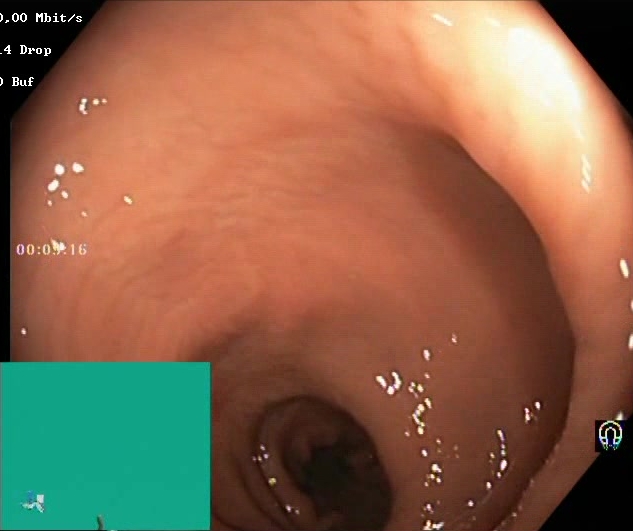GI endoscopy image of the lower GI tract showing Boston Bowel Preparation Scale score 2–3 (adequate preparation).